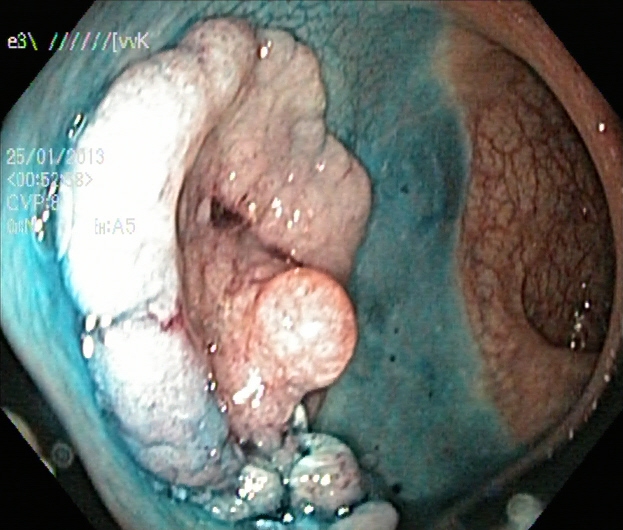Colonoscopy — dyed and lifted polyp (pre-resection).